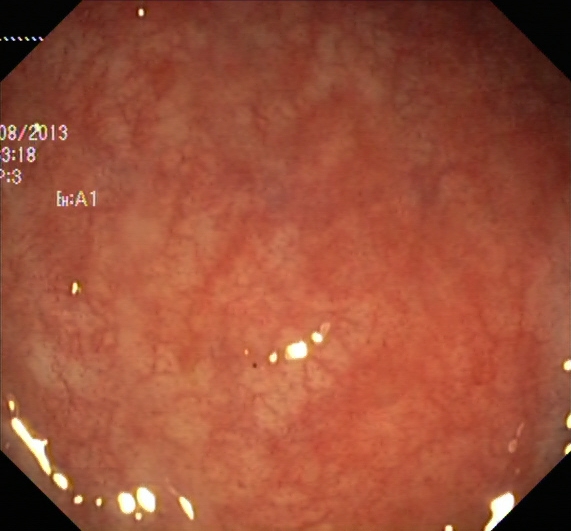PROCEDURE: Colonoscopy.
FINDINGS: UC, Mayo endoscopic subscore 1.